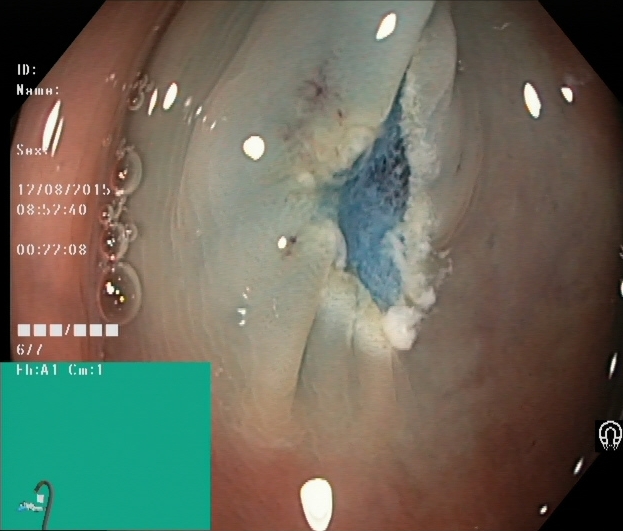{"modality": "lower gastrointestinal endoscopy", "tract": "lower GI tract", "finding": "dyed resection margins (post-polypectomy)"}